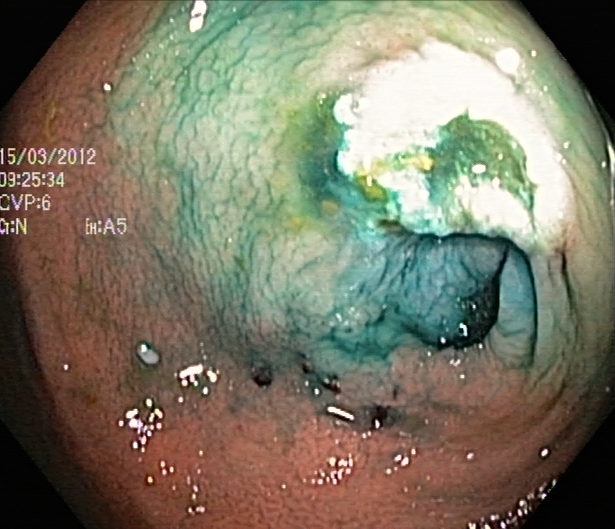PROCEDURE: Lower-GI endoscopy.
FINDINGS: Dyed resection margins (post-polypectomy).